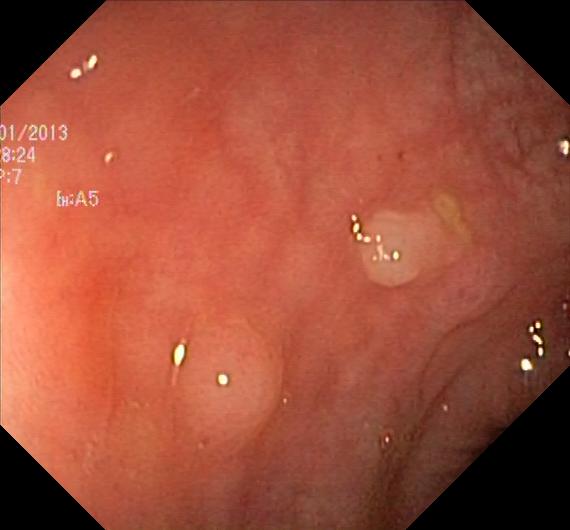colorectal polyp(s).